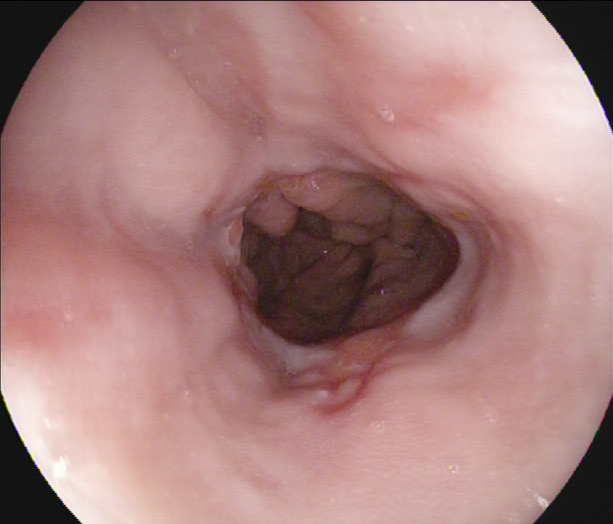{"modality": "EGD", "tract": "upper GI tract", "category": "pathological finding", "finding": "reflux esophagitis, Los Angeles grade A"}